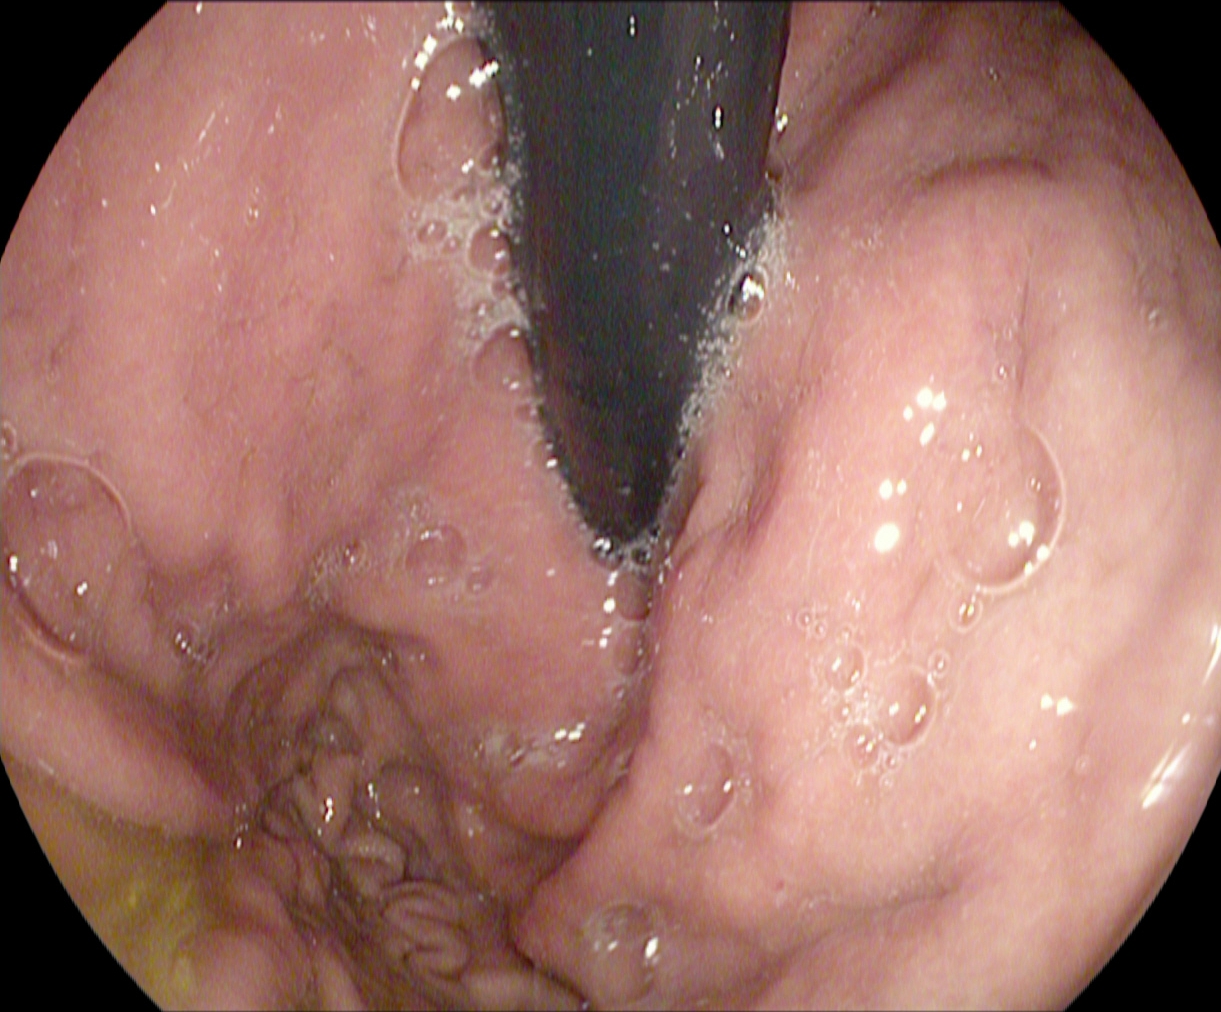PROCEDURE: Esophagogastroduodenoscopy.
FINDINGS: Stomach in retroflexion.